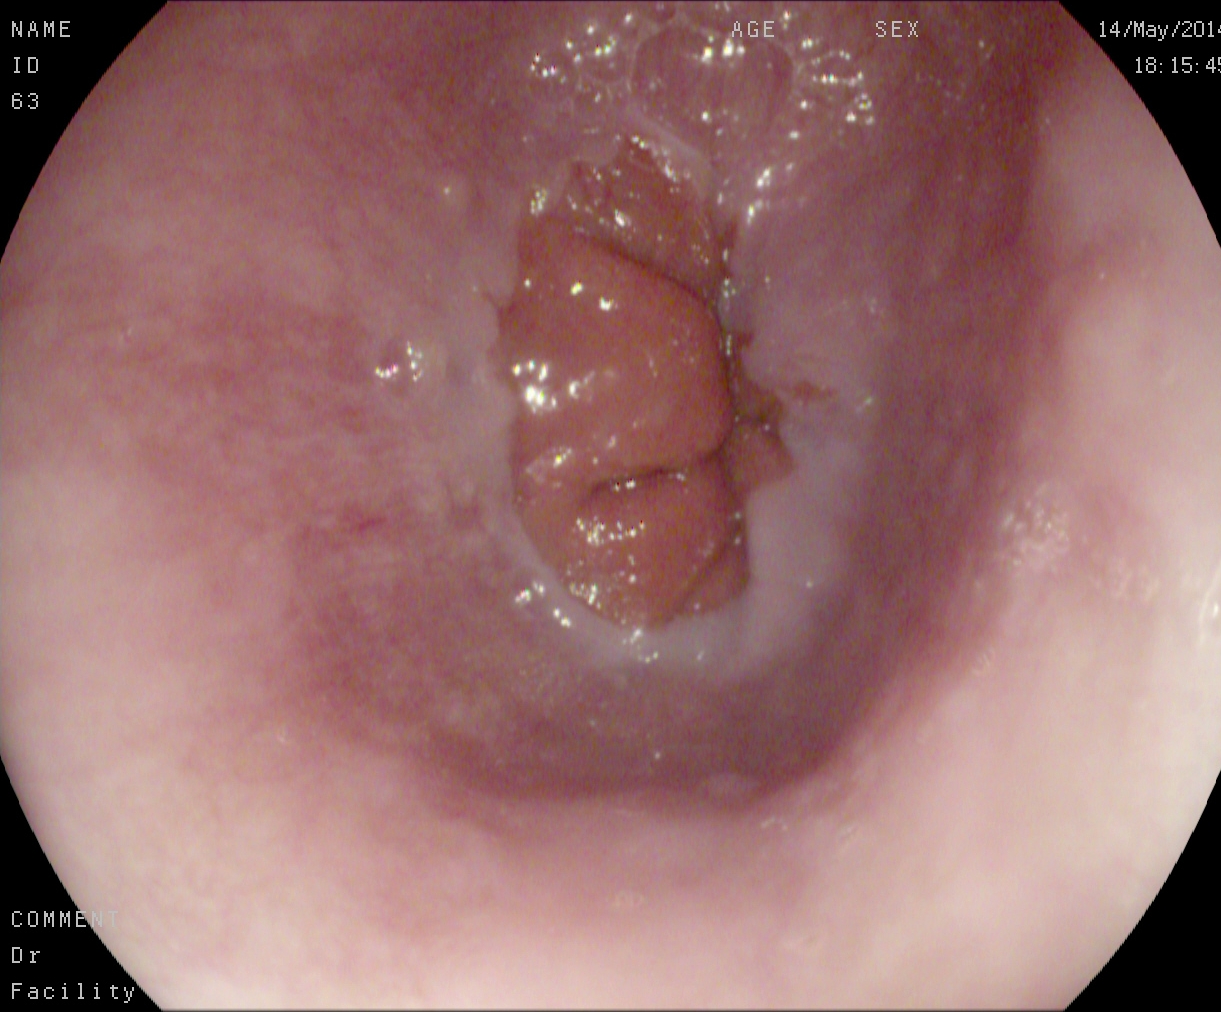Gastrointestinal endoscopy image of the upper GI tract showing Z-line (gastroesophageal junction).